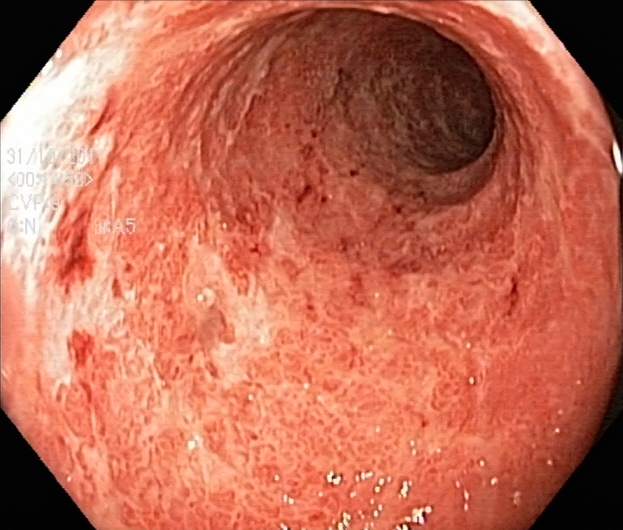{"modality": "colonoscopy", "tract": "lower GI tract", "finding": "ulcerative colitis, Mayo endoscopic subscore 2"}